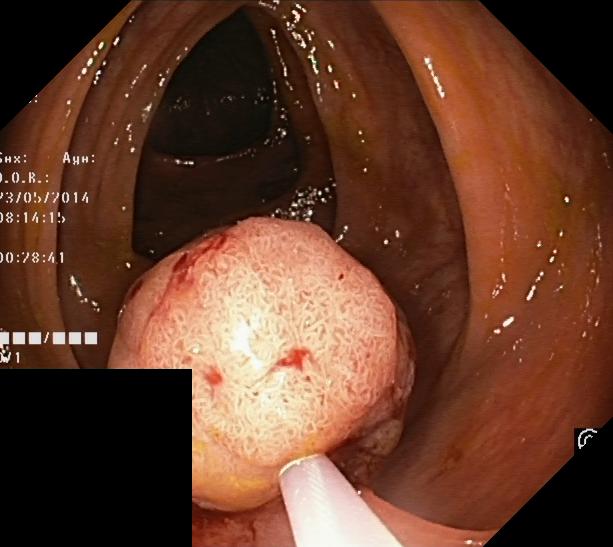PROCEDURE: Lower-GI endoscopy.
FINDINGS: Colorectal polyp(s).